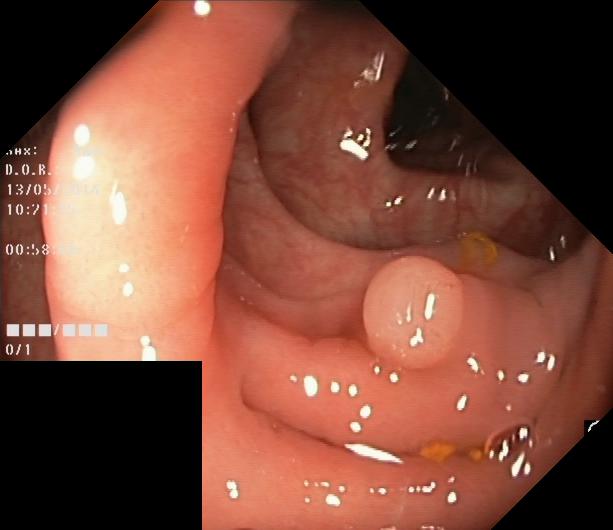Colorectal polyp(s).